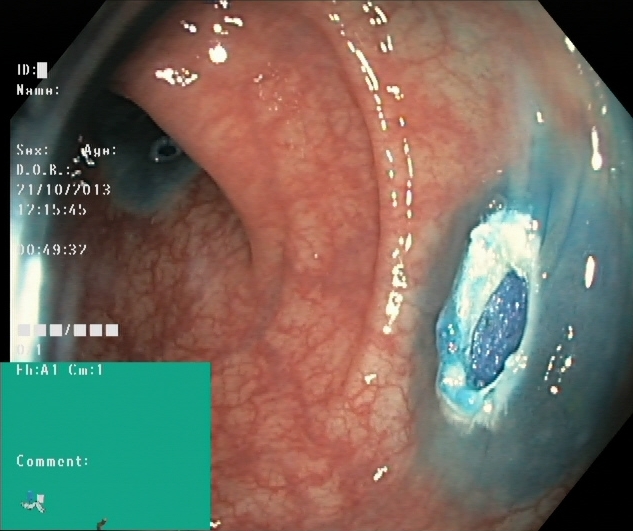This endoscopy frame of the lower GI tract shows dyed resection margins (post-polypectomy).